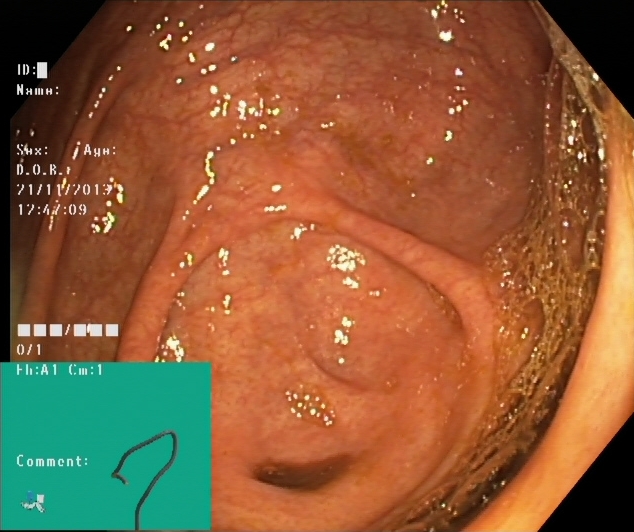Colonoscopy. Finding: cecum.